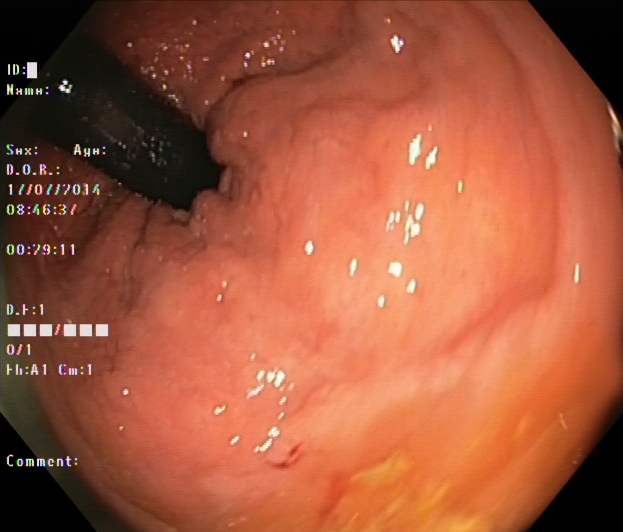This endoscopy frame of the lower GI tract shows rectum in retroflexion.